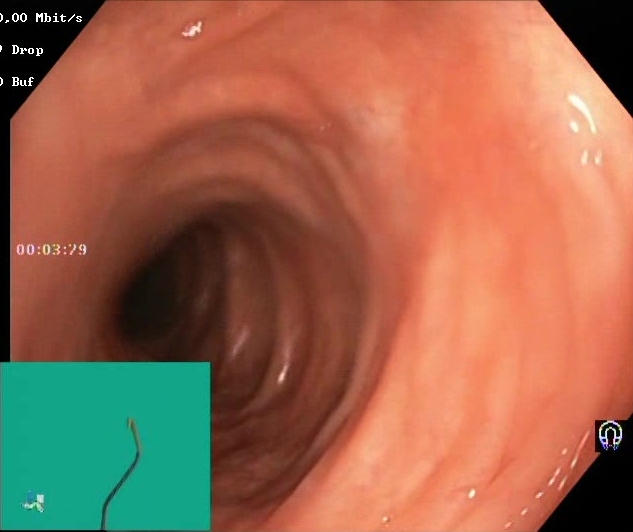modality: lower-GI endoscopy
tract: lower GI tract
category: mucosal-view quality
finding: BBPS score 2–3 (adequate preparation)